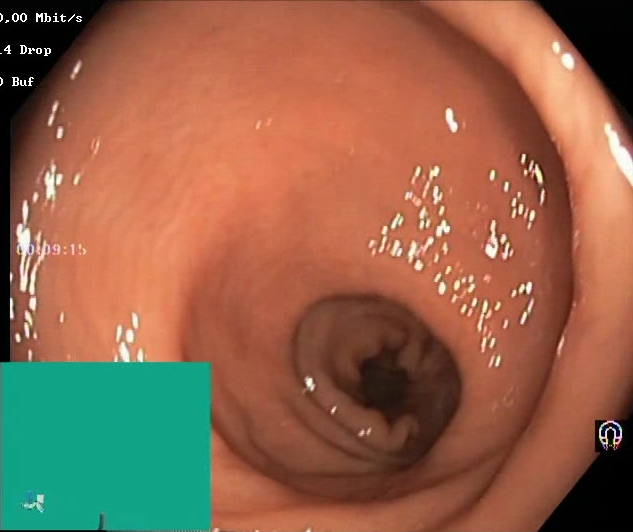{"modality": "lower-GI endoscopy", "category": "mucosal-view quality", "finding": "BBPS score 2\u20133 (adequate preparation)"}